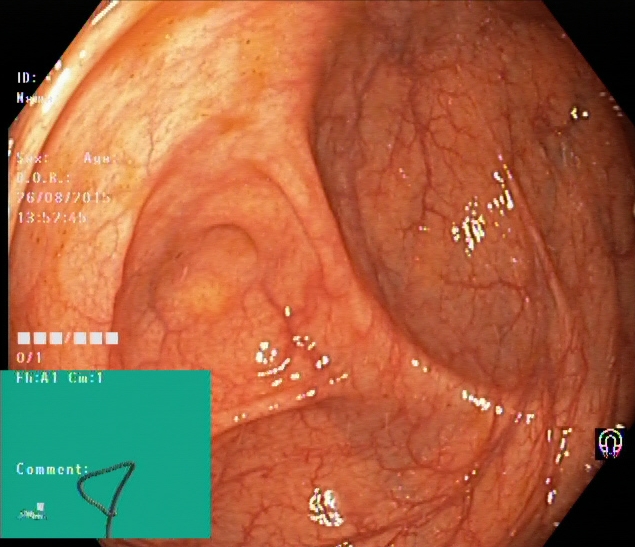PROCEDURE: Colonoscopy.
FINDINGS: Cecum.